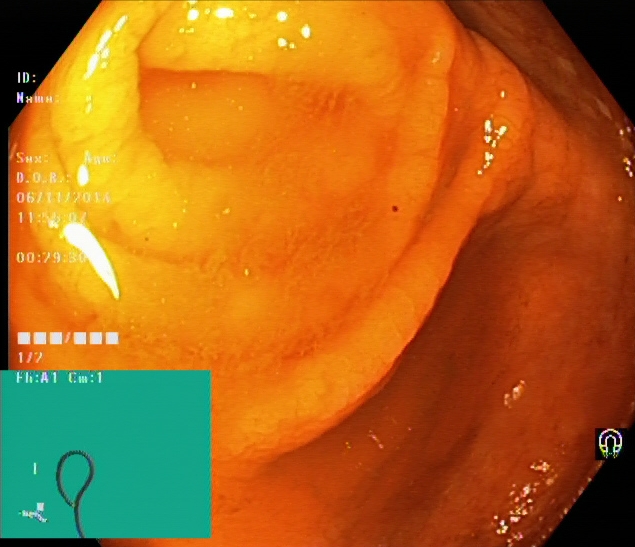{"modality": "lower gastrointestinal endoscopy", "tract": "lower GI tract", "finding": "cecum"}